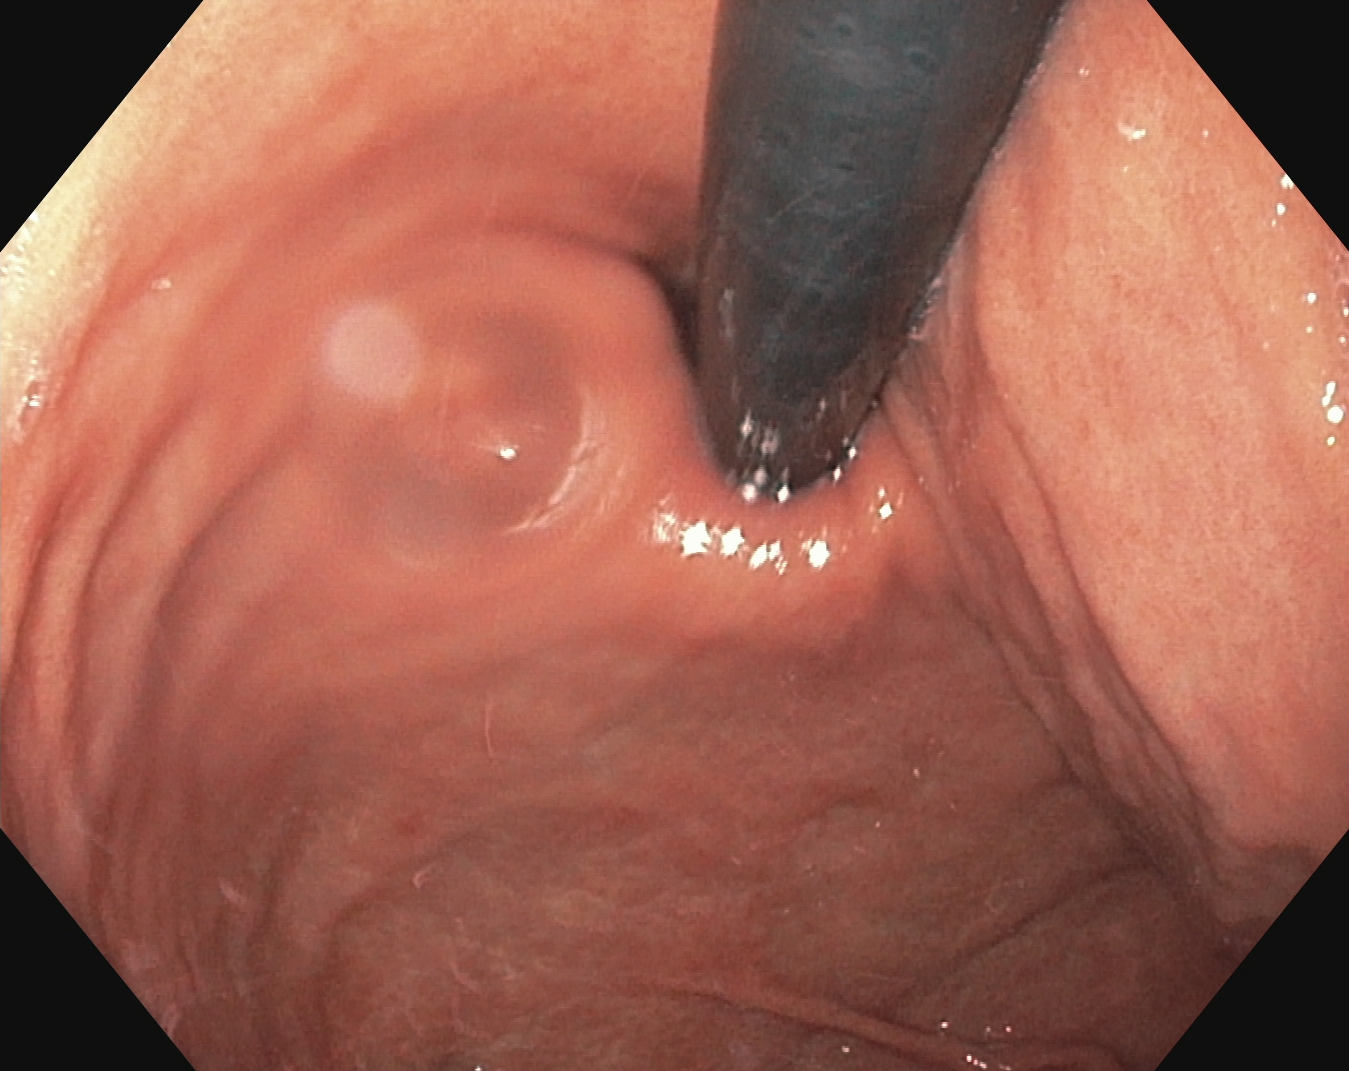PROCEDURE: EGD.
FINDINGS: Stomach in retroflexion.